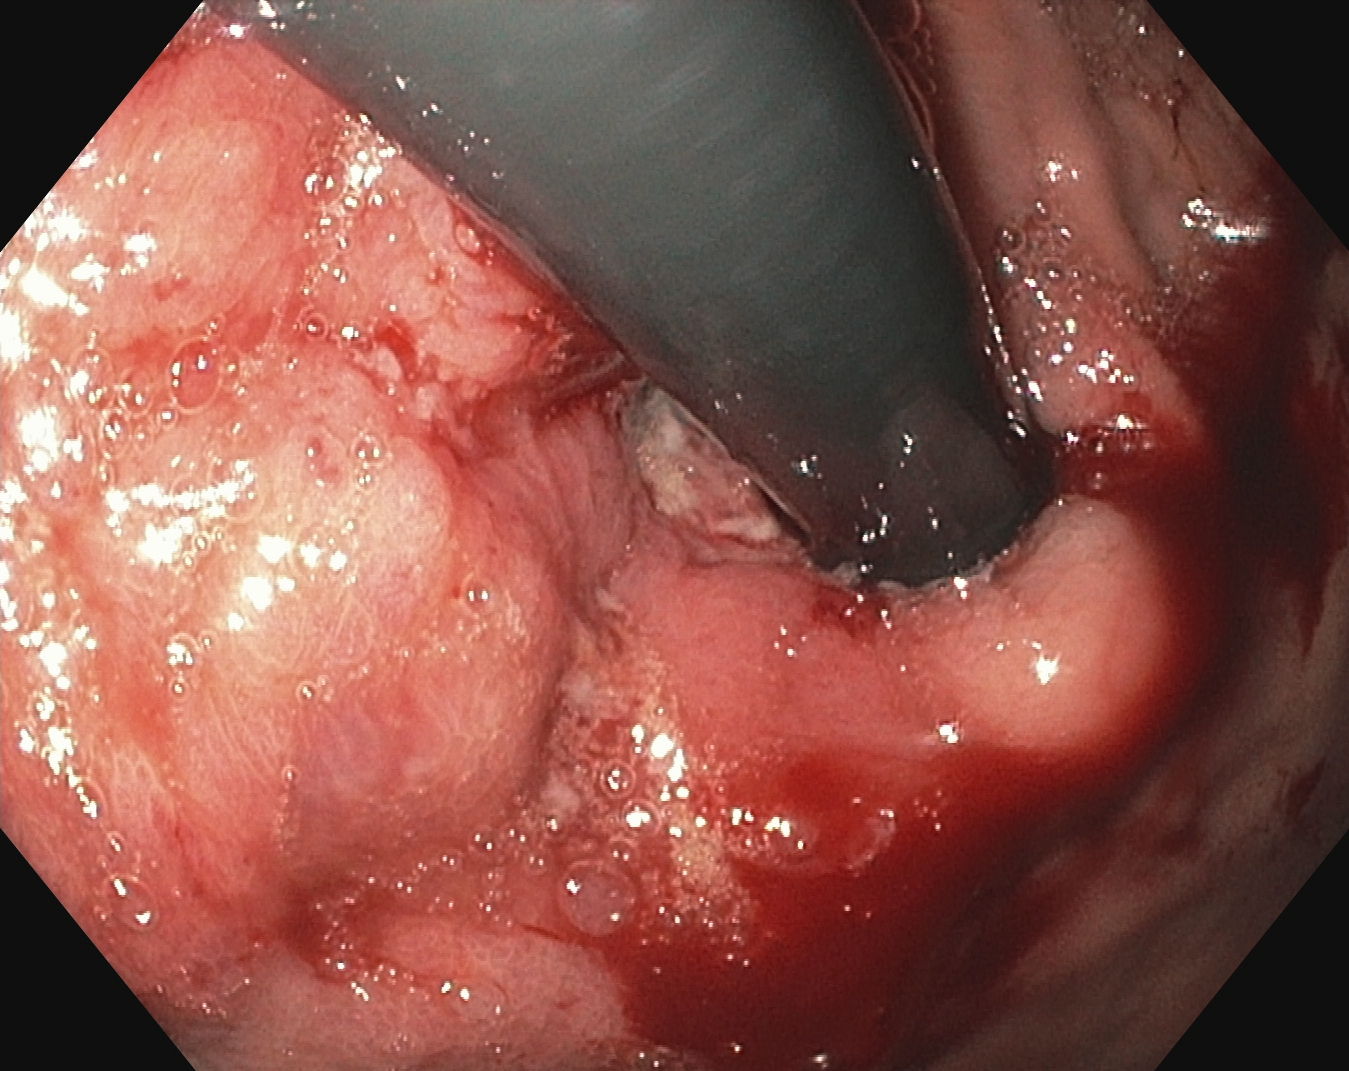{"modality": "esophagogastroduodenoscopy", "tract": "upper GI tract", "category": "anatomical landmark", "finding": "stomach in retroflexion"}